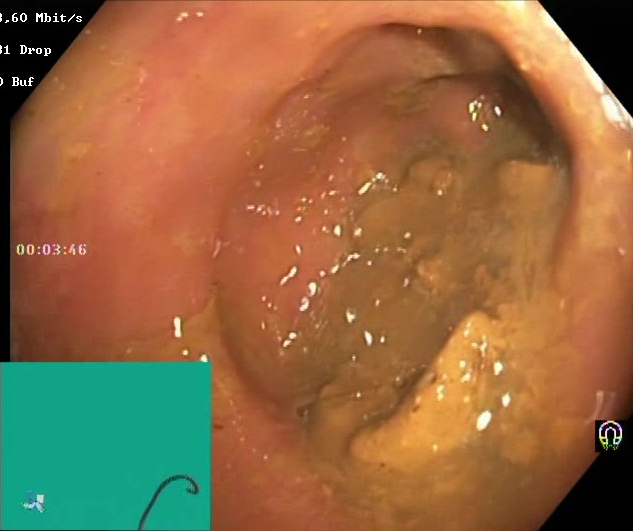This endoscopic image of the lower GI tract shows Boston Bowel Preparation Scale score 0–1 (inadequate preparation).